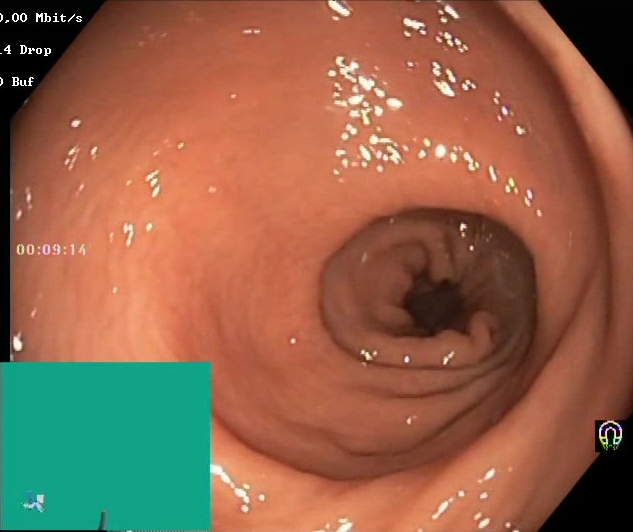Colonoscopy — Boston Bowel Preparation Scale score 2–3 (adequate preparation).